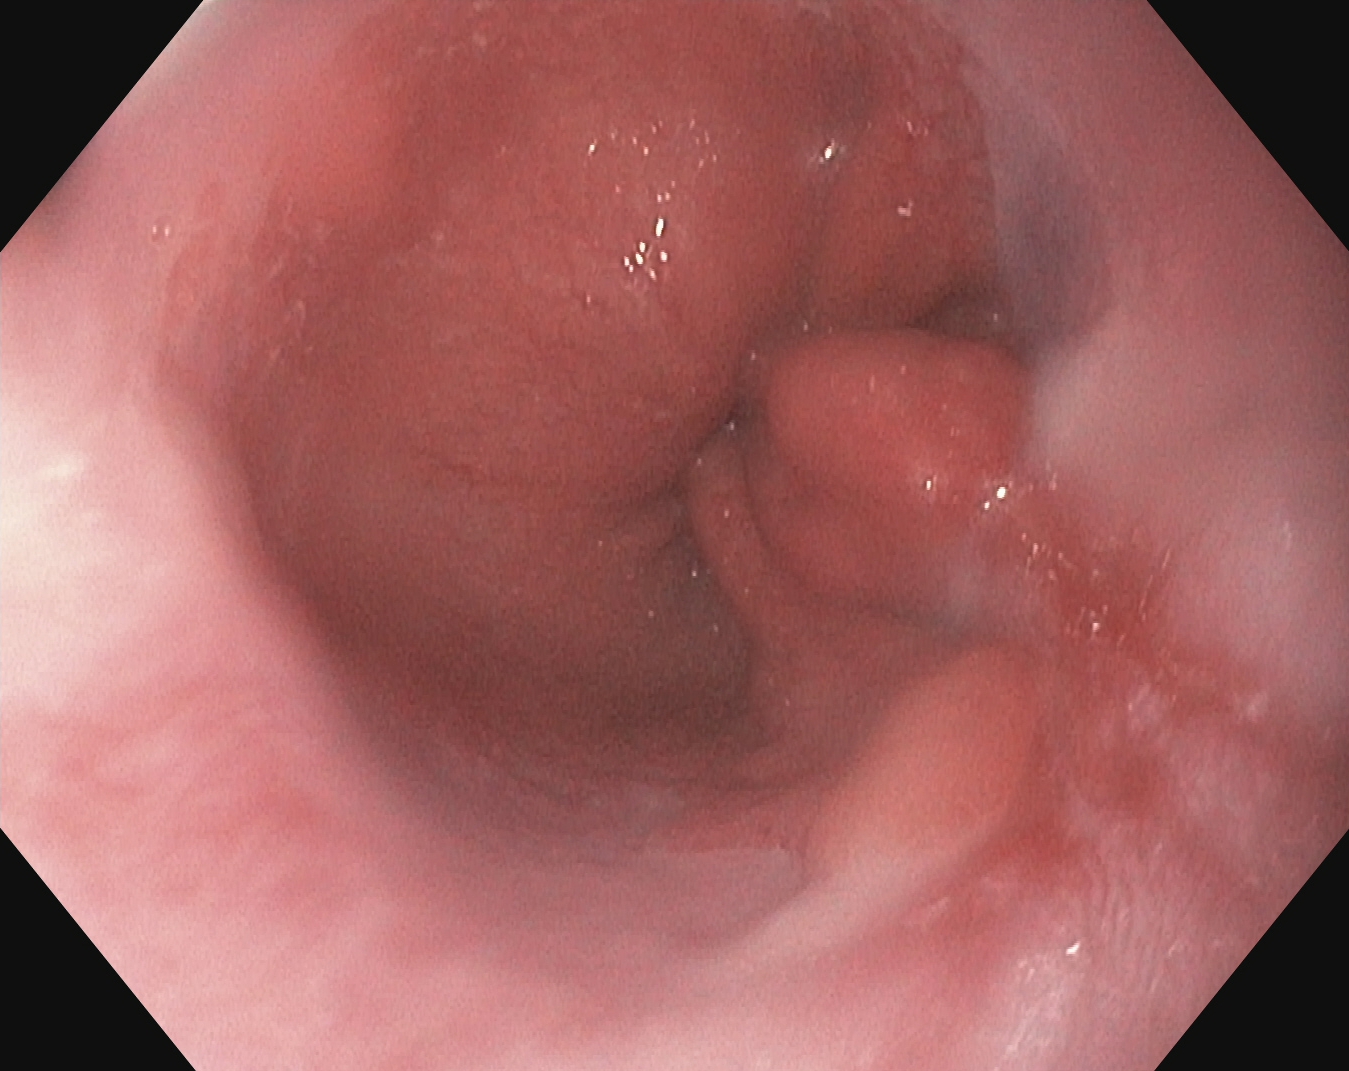PROCEDURE: Gastroscopy.
FINDINGS: Reflux esophagitis, LA grade B–D.